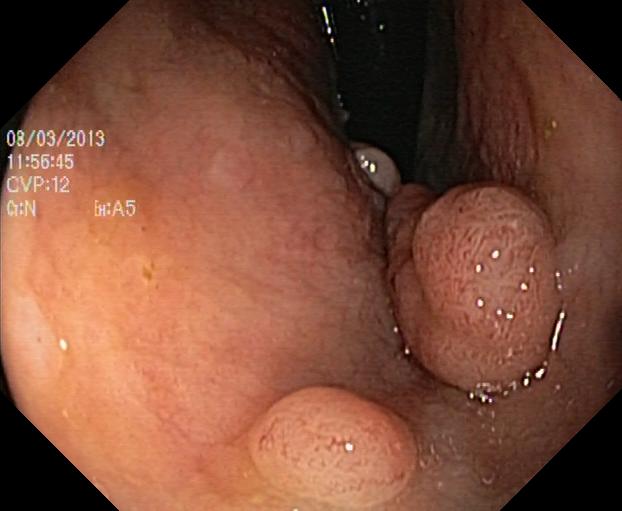{"modality": "lower-GI endoscopy", "tract": "lower GI tract", "category": "pathological finding", "finding": "colorectal polyp(s)"}